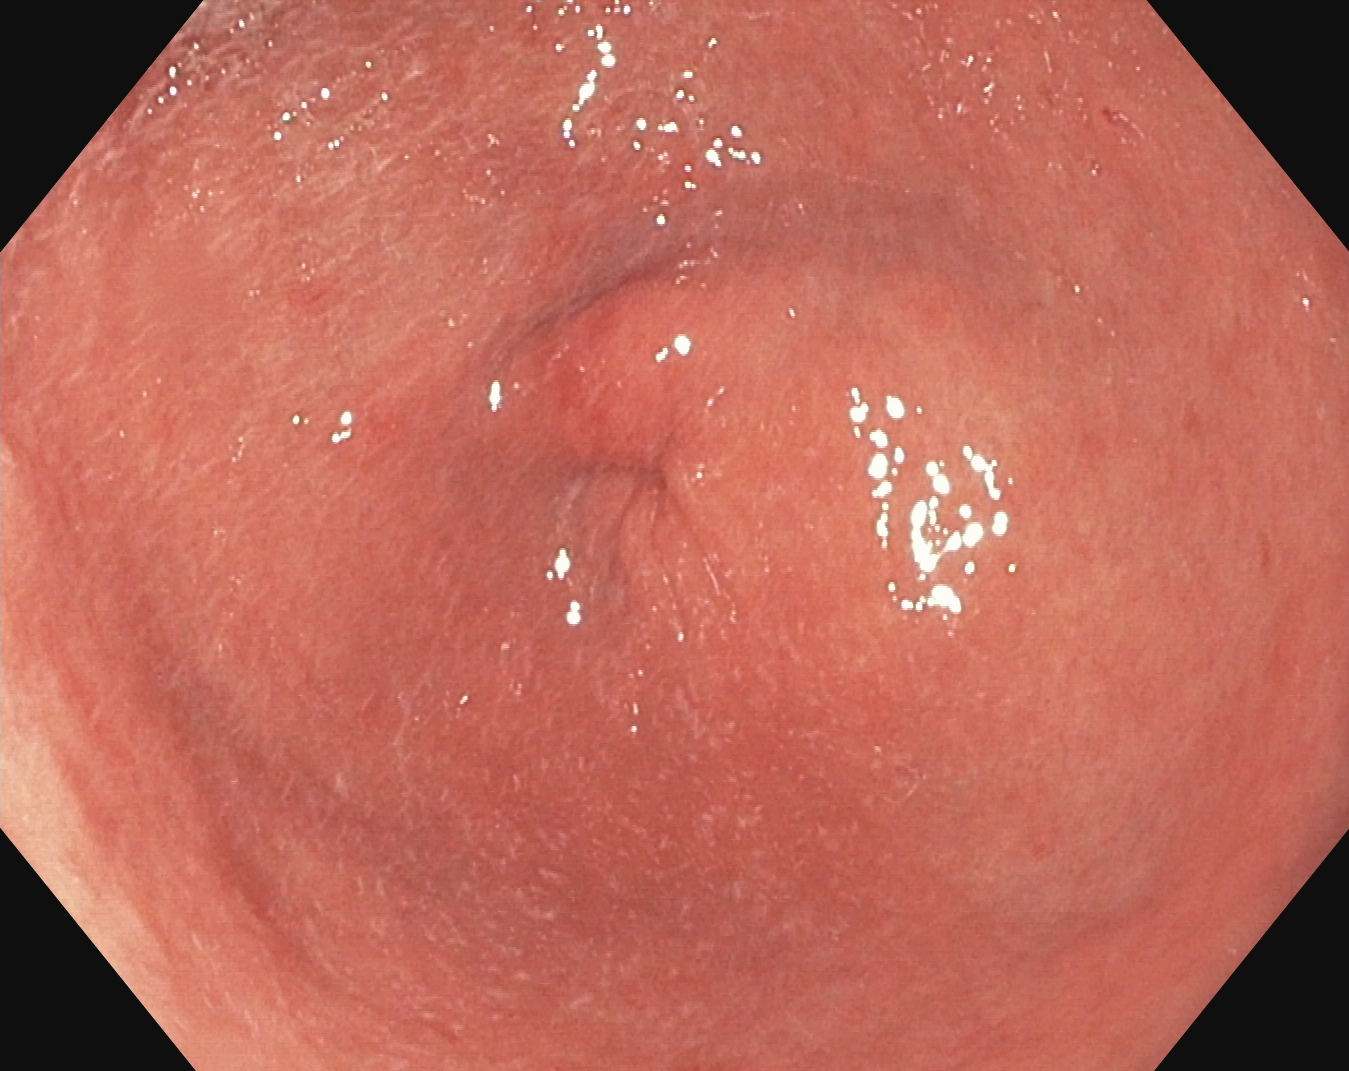Pylorus.